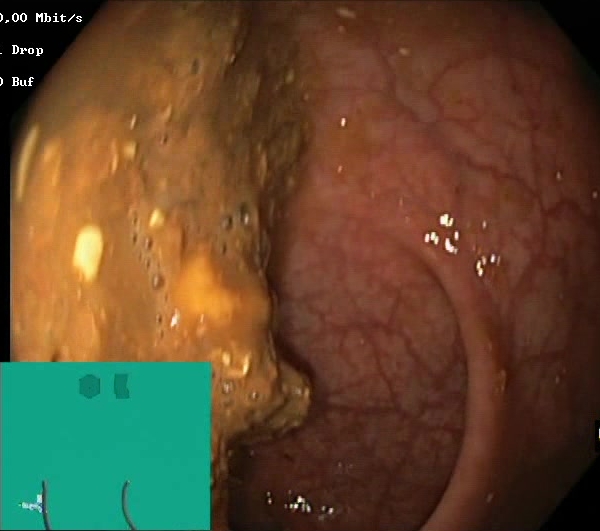modality: lower gastrointestinal endoscopy
tract: lower GI tract
finding: BBPS score 0–1 (inadequate preparation)